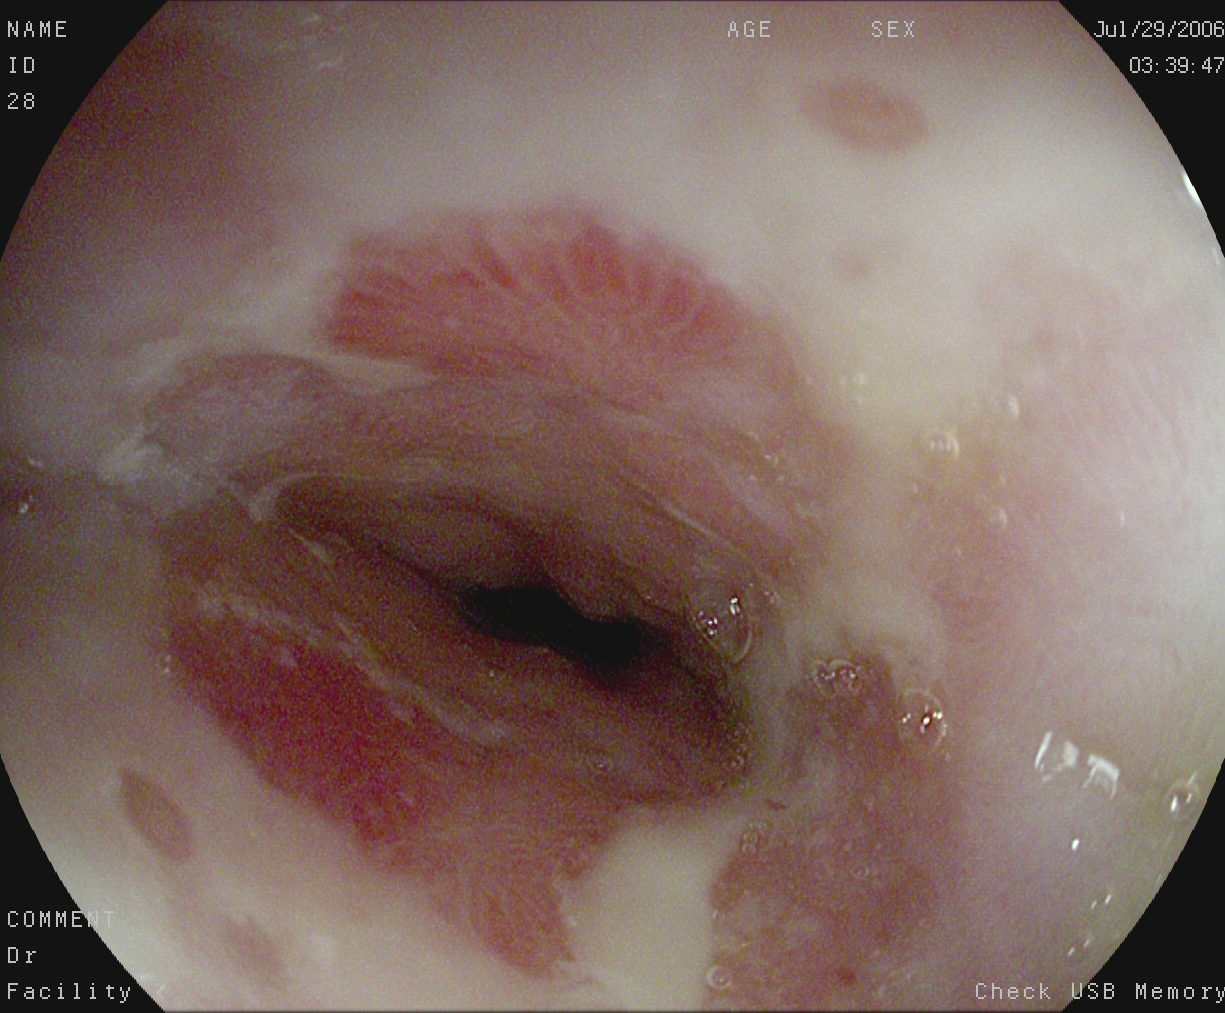reflux esophagitis, Los Angeles grade B–D.